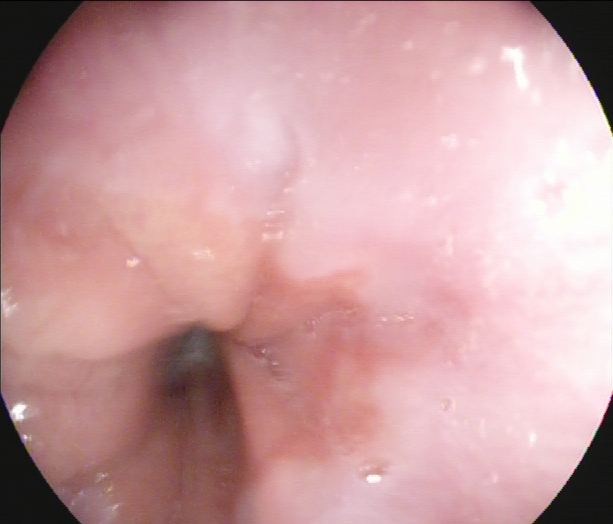{"modality": "EGD", "finding": "Z-line (gastroesophageal junction)"}